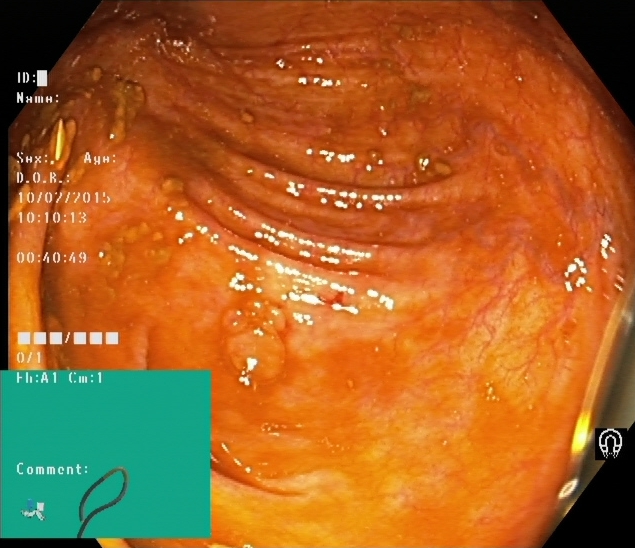Colonoscopy image showing cecum.